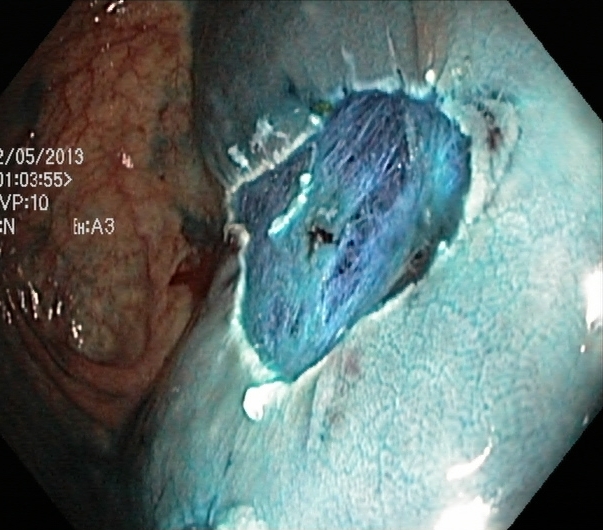PROCEDURE: Lower gastrointestinal endoscopy.
CATEGORY: Therapeutic intervention.
FINDINGS: Dyed resection margins (post-polypectomy).